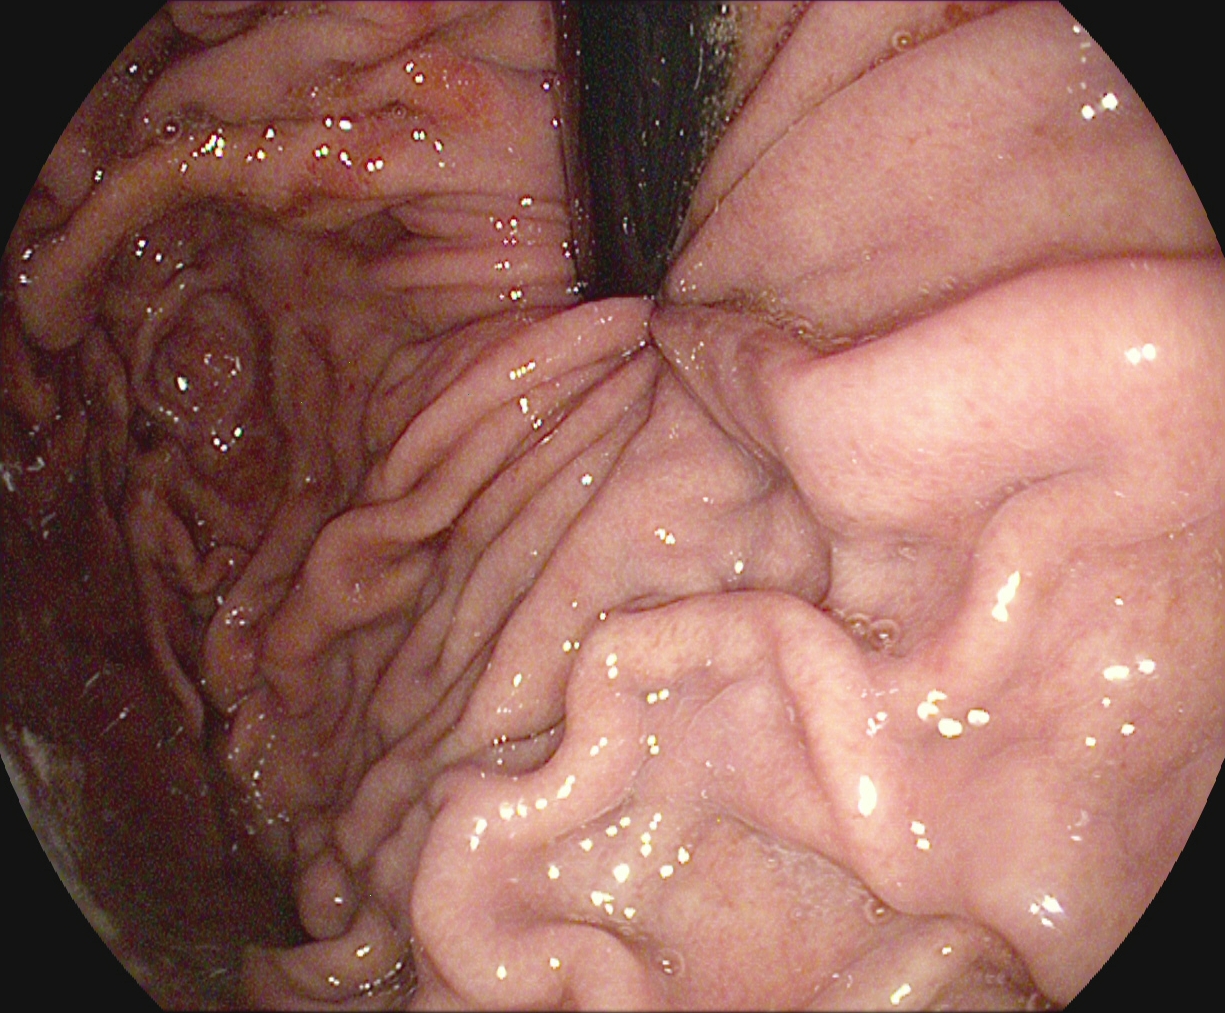Stomach in retroflexion.